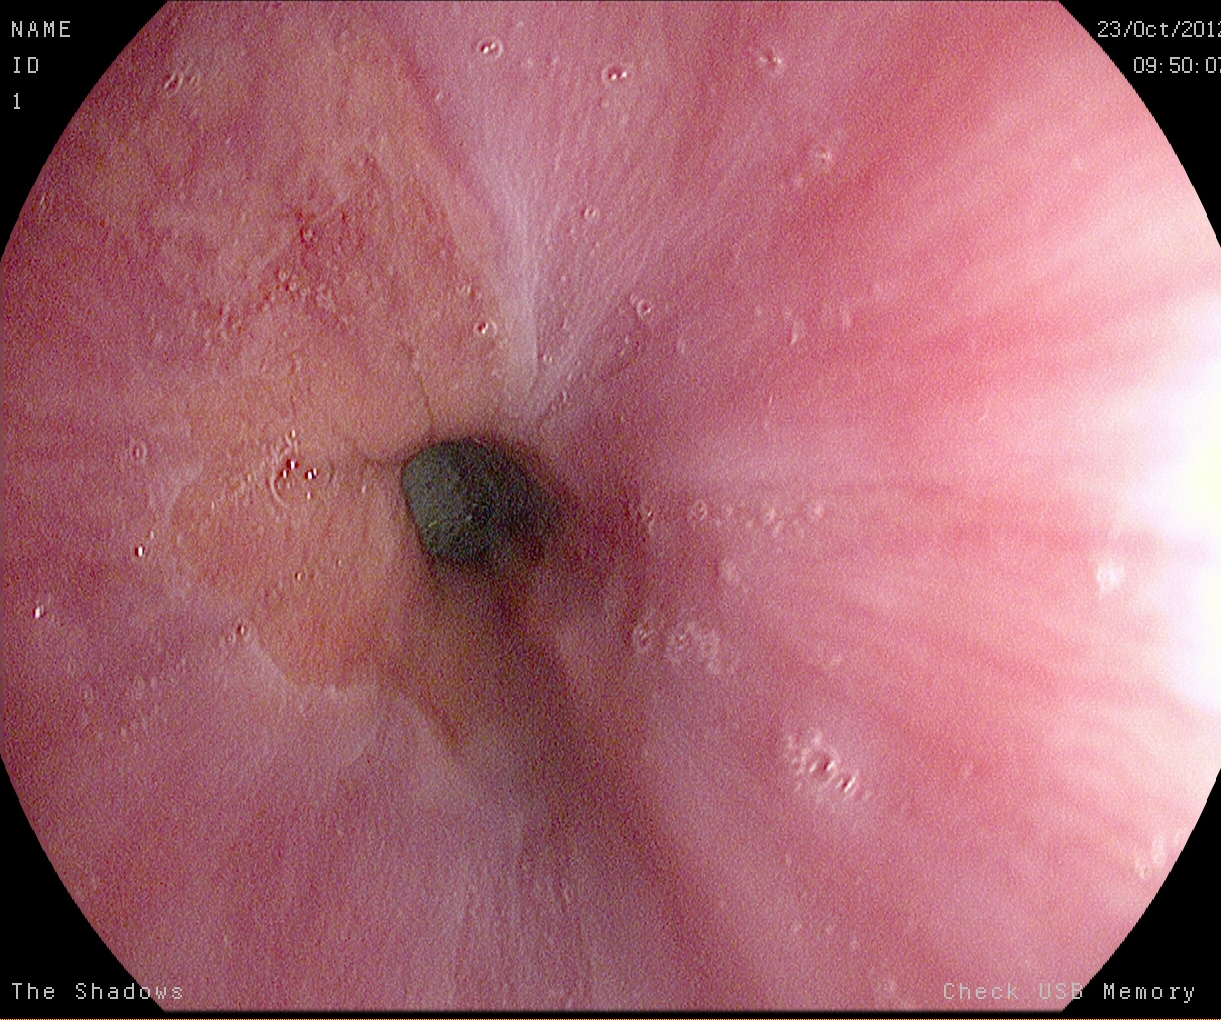Endoscopic image of the upper GI tract showing Z-line (gastroesophageal junction).